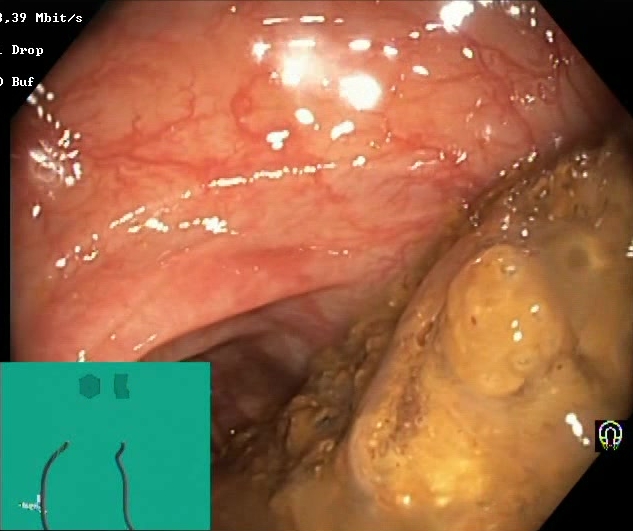PROCEDURE: Colonoscopy.
FINDINGS: Boston Bowel Preparation Scale score 0–1 (inadequate preparation).